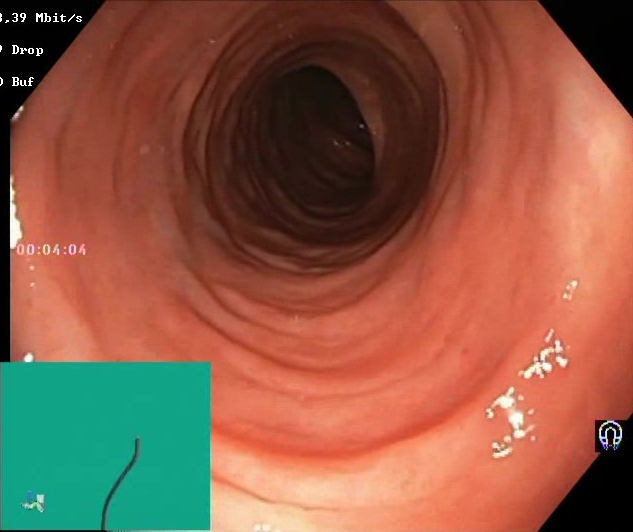Gastrointestinal endoscopy image showing BBPS score 2–3 (adequate preparation).